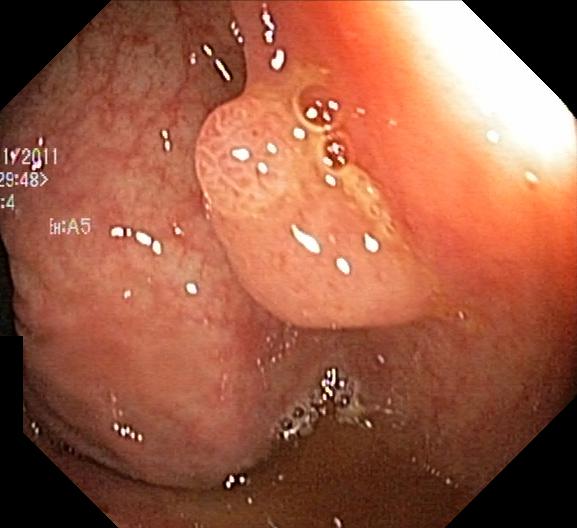Lower-GI endoscopy — colorectal polyp(s).